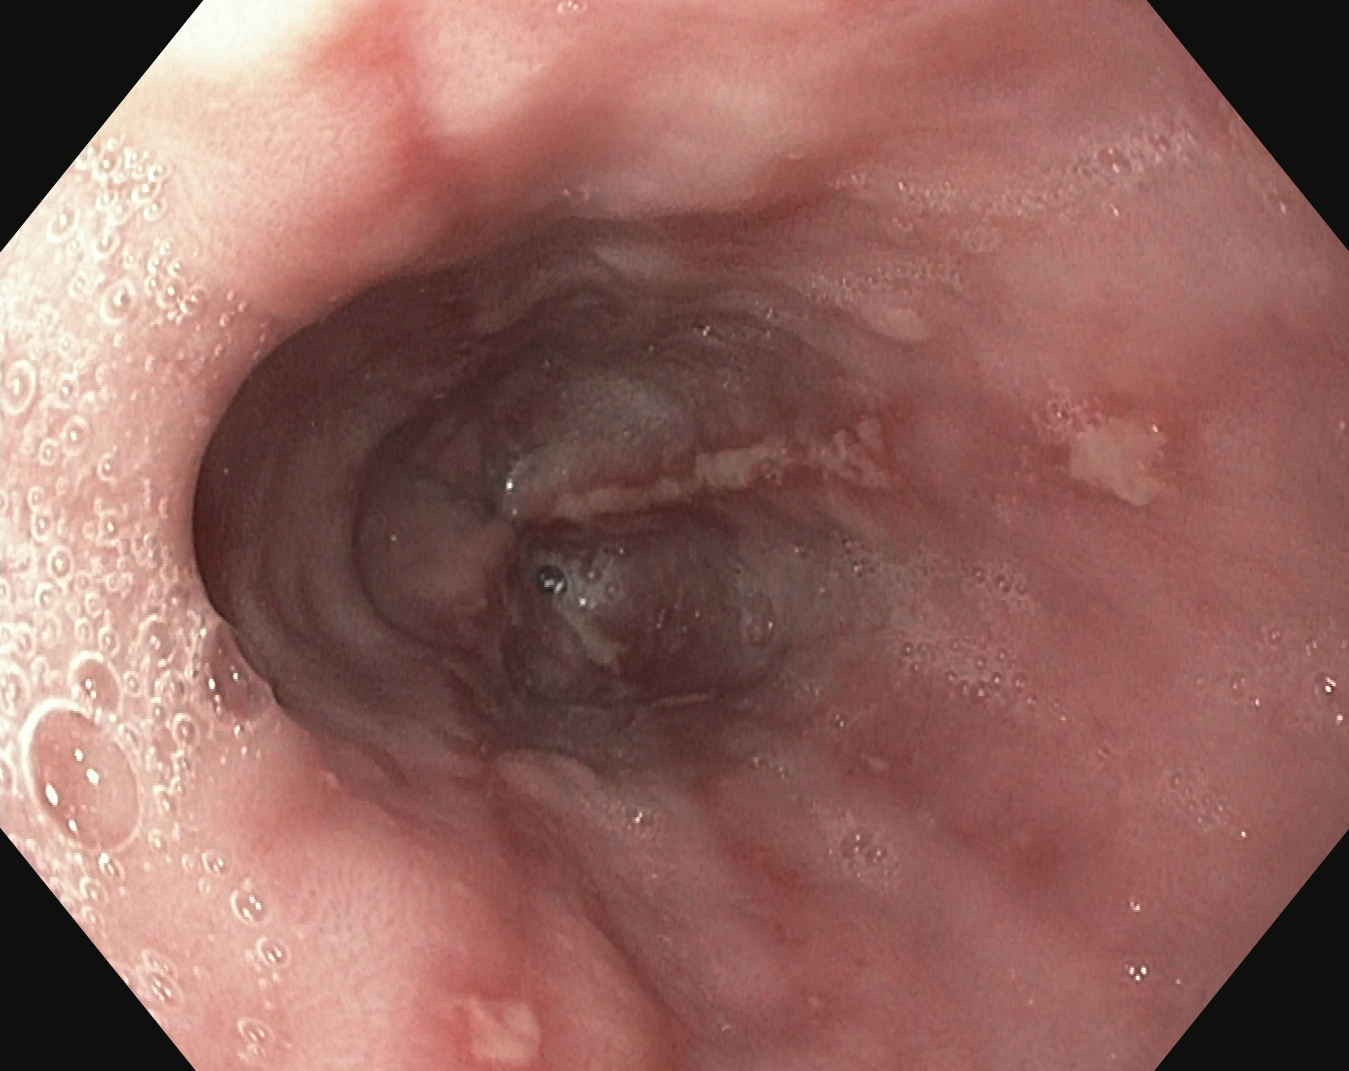Esophagogastroduodenoscopy. Finding: reflux esophagitis, Los Angeles grade A.